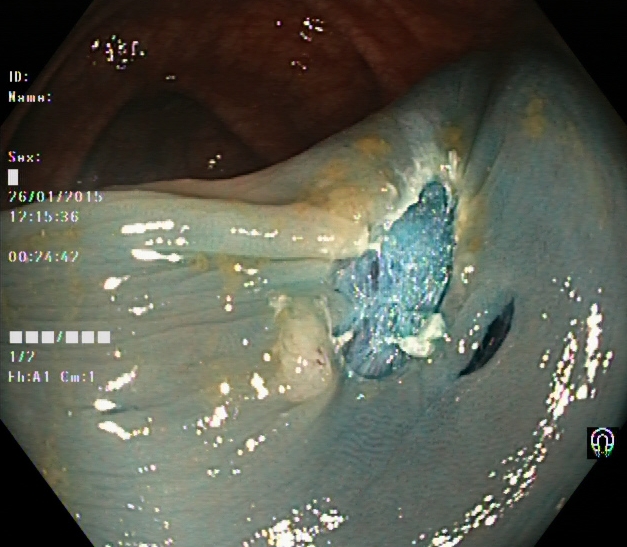Lower gastrointestinal endoscopy. Tract: lower GI tract. Therapeutic intervention. Finding: dyed resection margins (post-polypectomy).